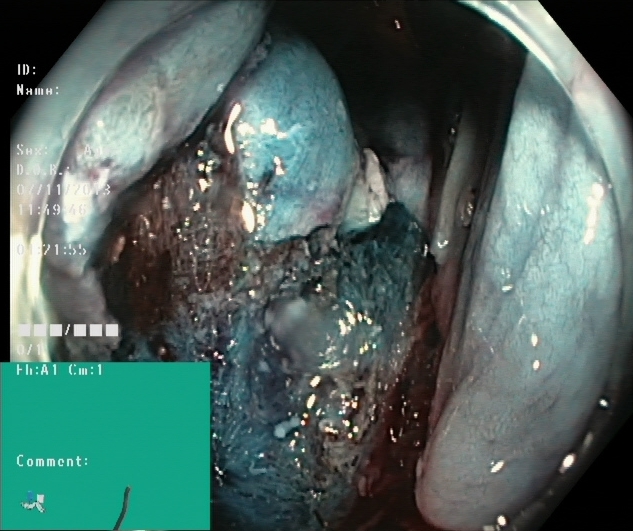Colonoscopy. Finding: dyed resection margins (post-polypectomy).